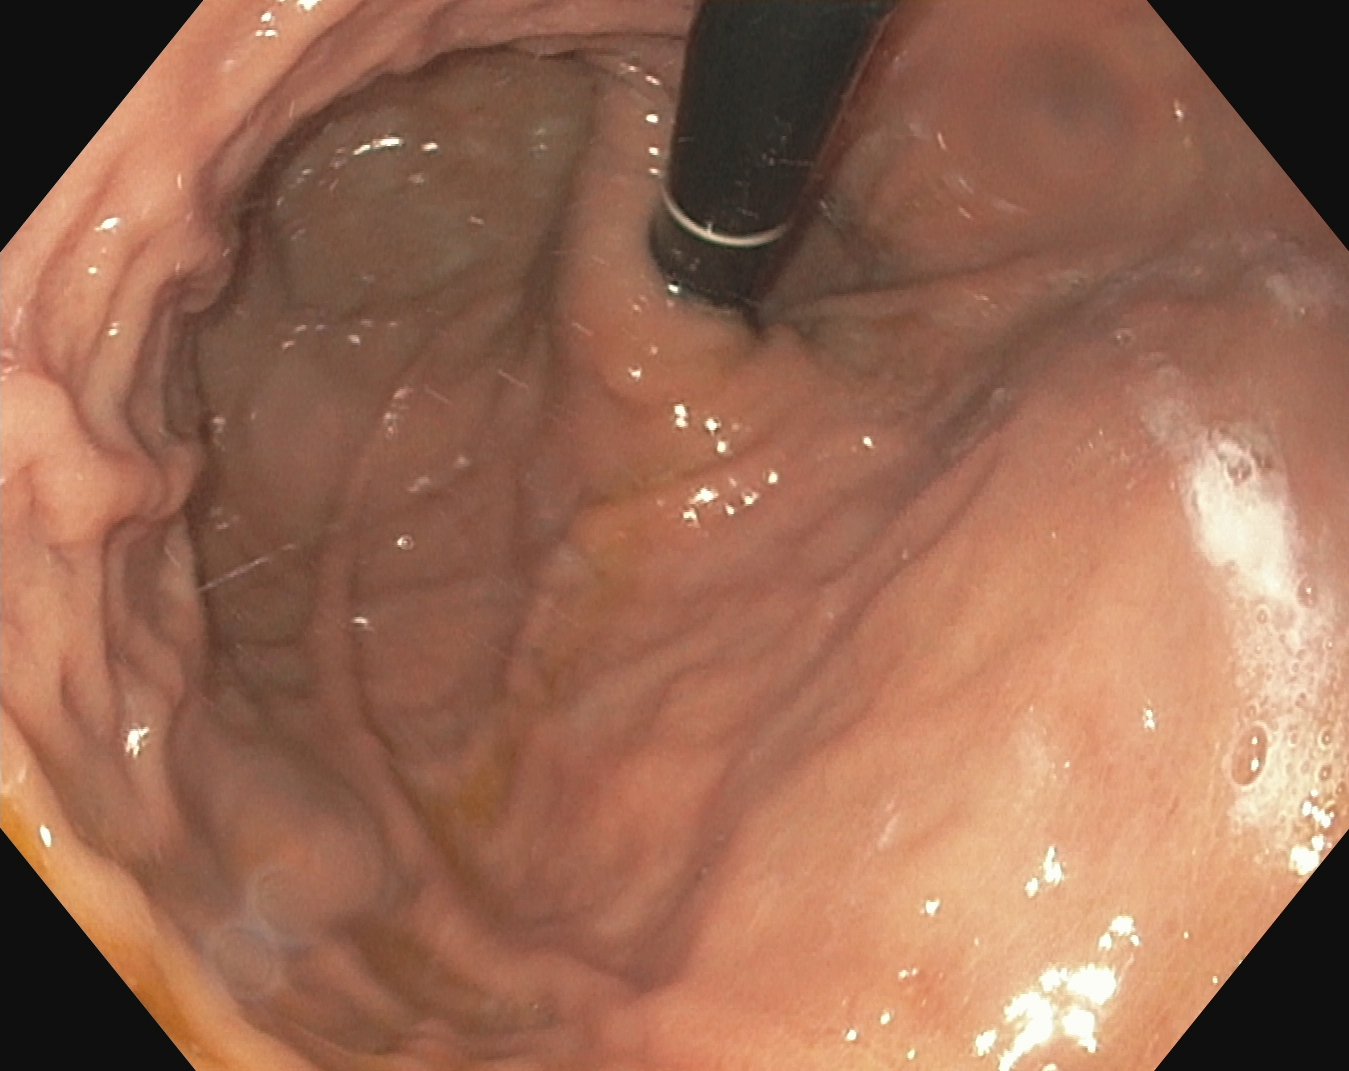modality: EGD; tract: upper GI tract; finding: stomach in retroflexion